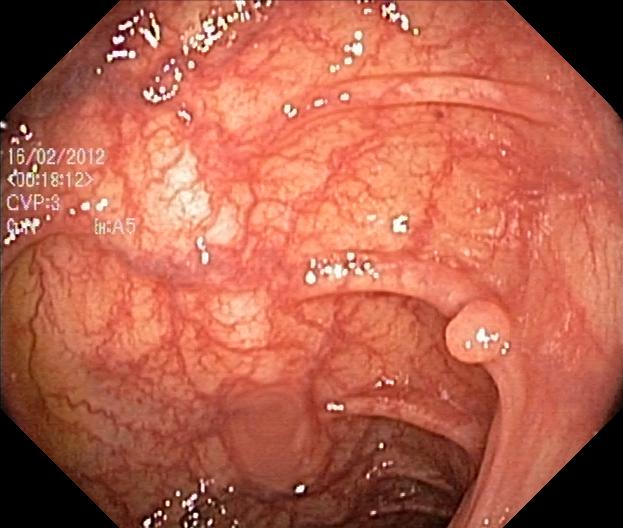Lower gastrointestinal endoscopy. Tract: lower GI tract. Finding: colorectal polyp(s).